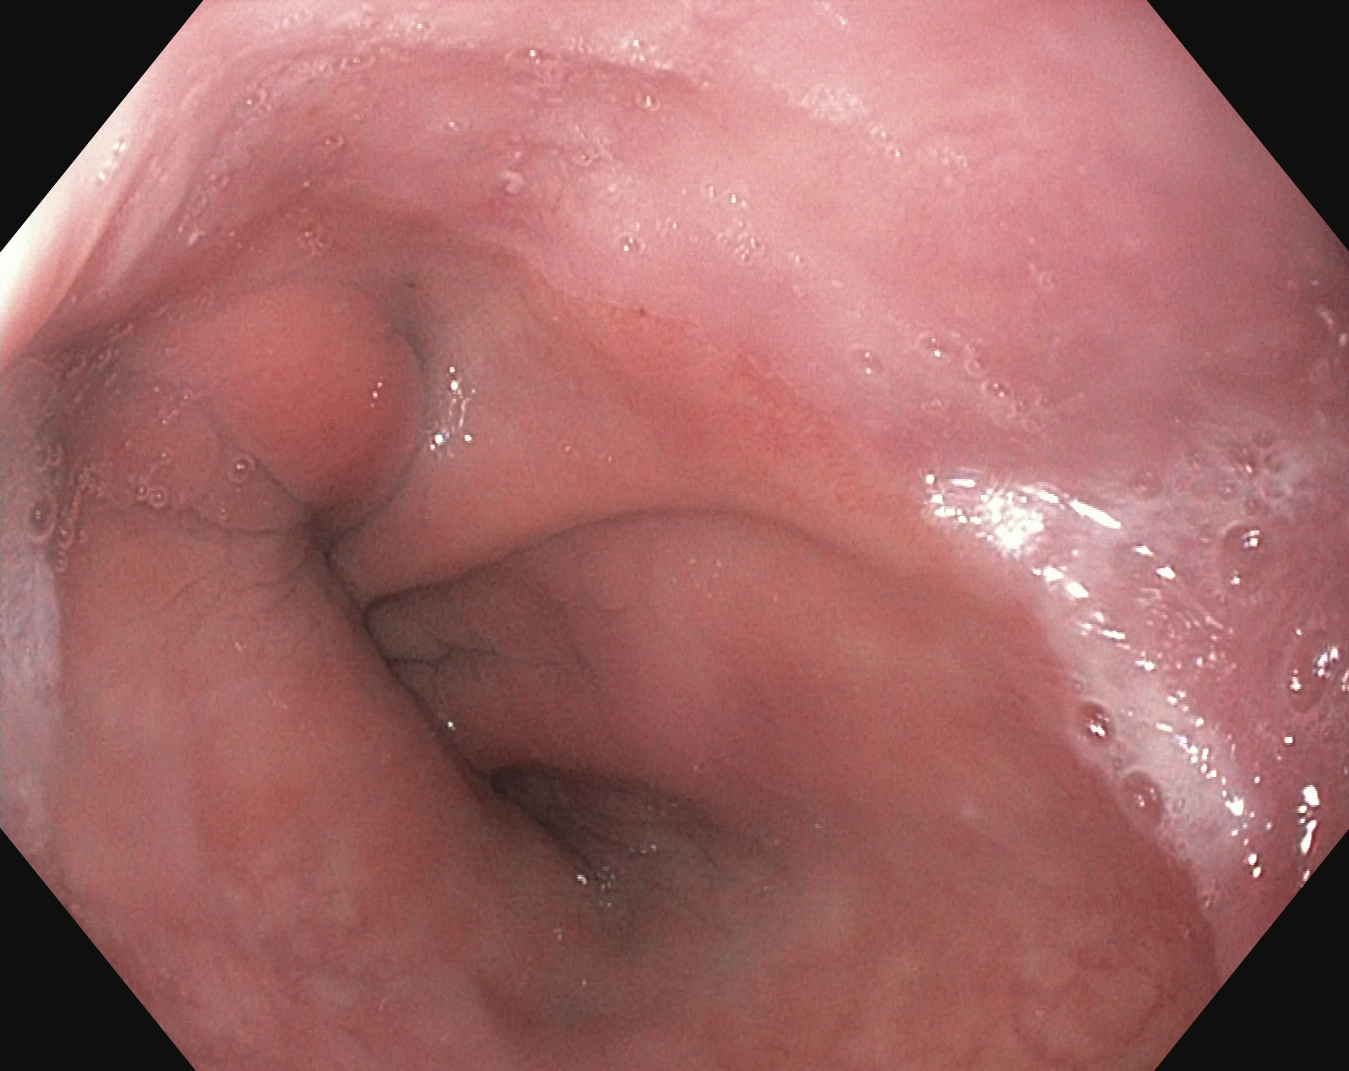Gastroscopy image of the upper GI tract showing Z-line (gastroesophageal junction).